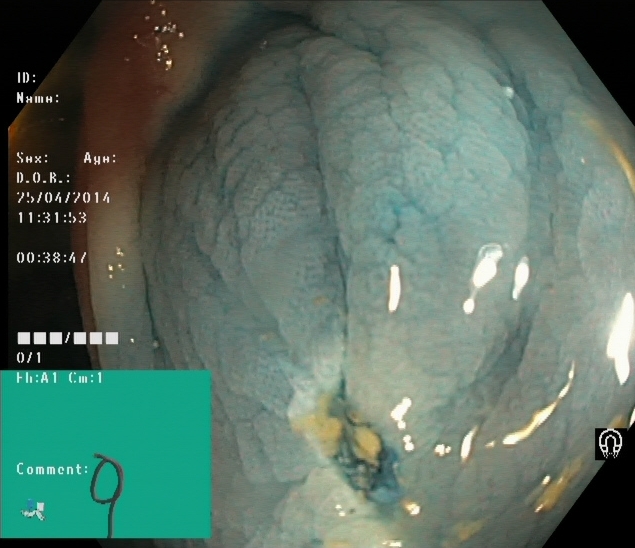This endoscopic image of the lower GI tract shows dyed resection margins (post-polypectomy).